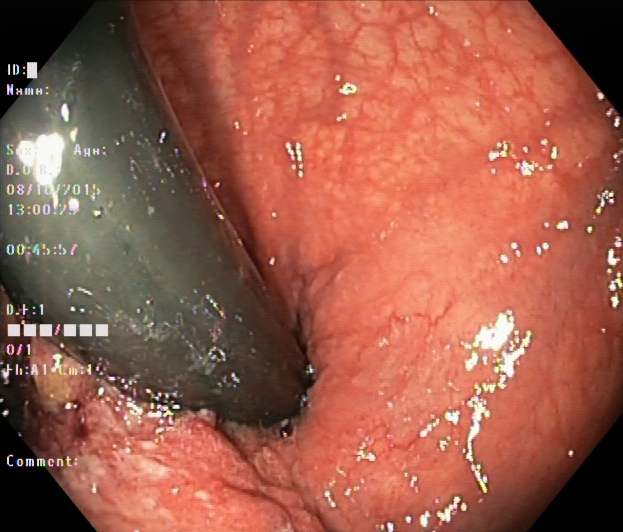This endoscopy frame shows rectum in retroflexion.